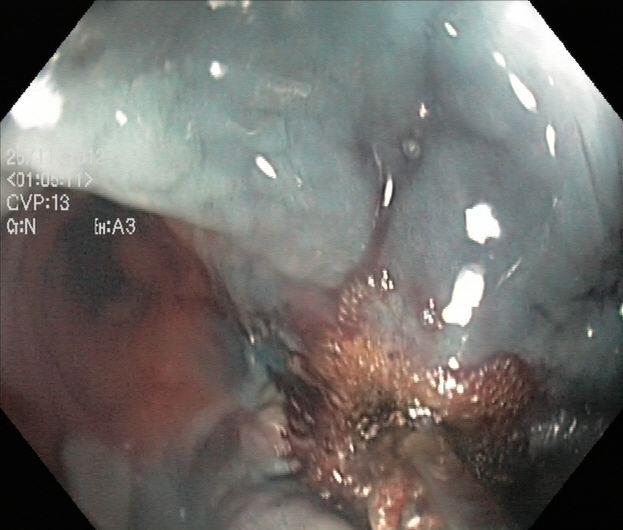Dyed and lifted polyp (pre-resection).